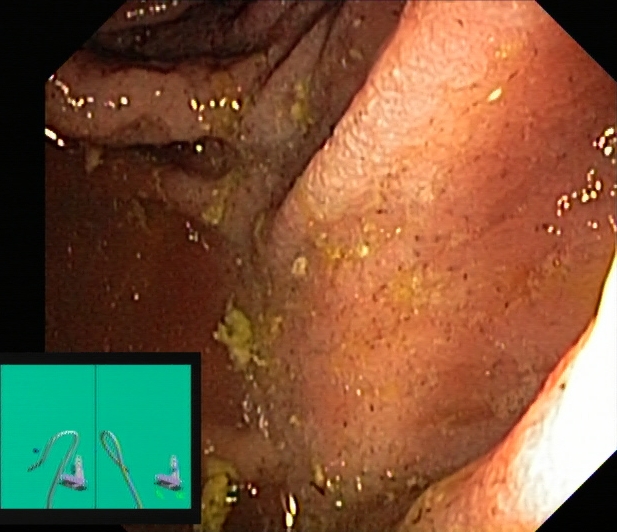{"modality": "lower-GI endoscopy", "tract": "lower GI tract", "category": "pathological finding", "finding": "UC, Mayo endoscopic subscore 2"}